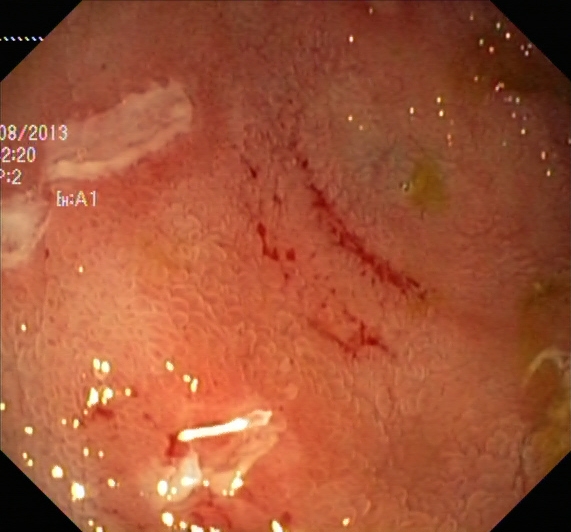PROCEDURE: Lower gastrointestinal endoscopy.
FINDINGS: UC, Mayo endoscopic subscore 2.